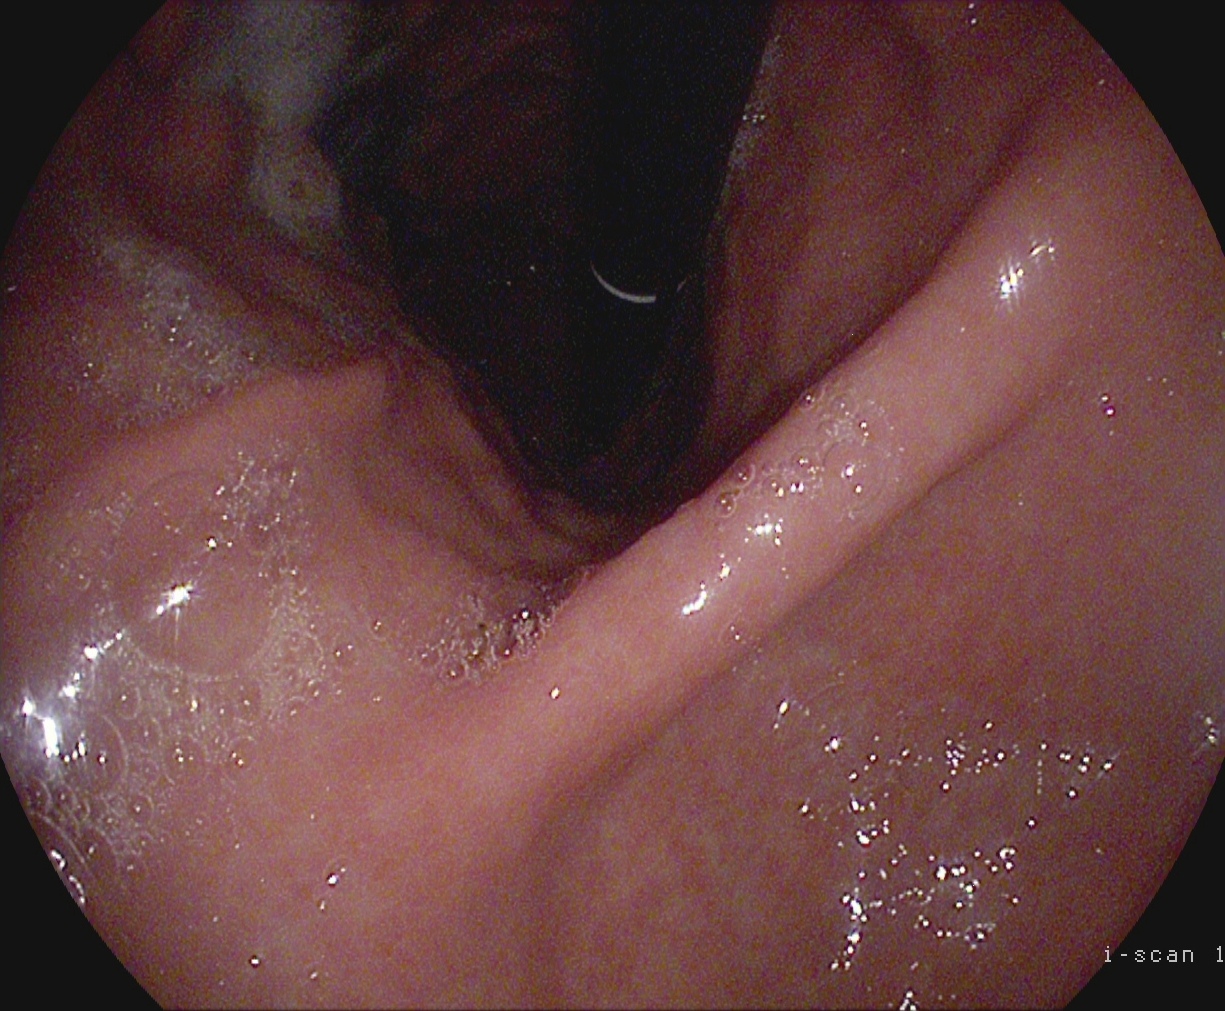{"modality": "EGD", "tract": "upper GI tract", "finding": "stomach in retroflexion"}